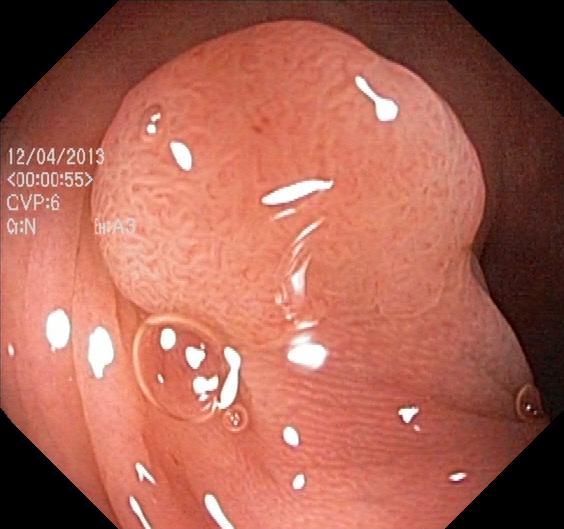Lower gastrointestinal endoscopy — colorectal polyp(s).